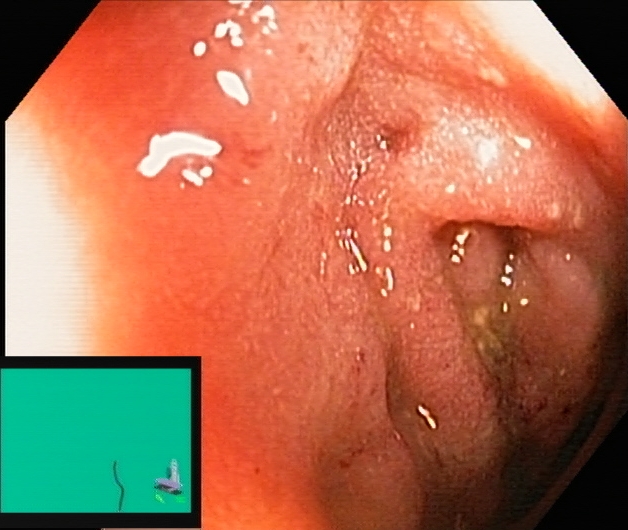PROCEDURE: Colonoscopy.
CATEGORY: Pathological finding.
FINDINGS: Ulcerative colitis, Mayo endoscopic subscore 2.